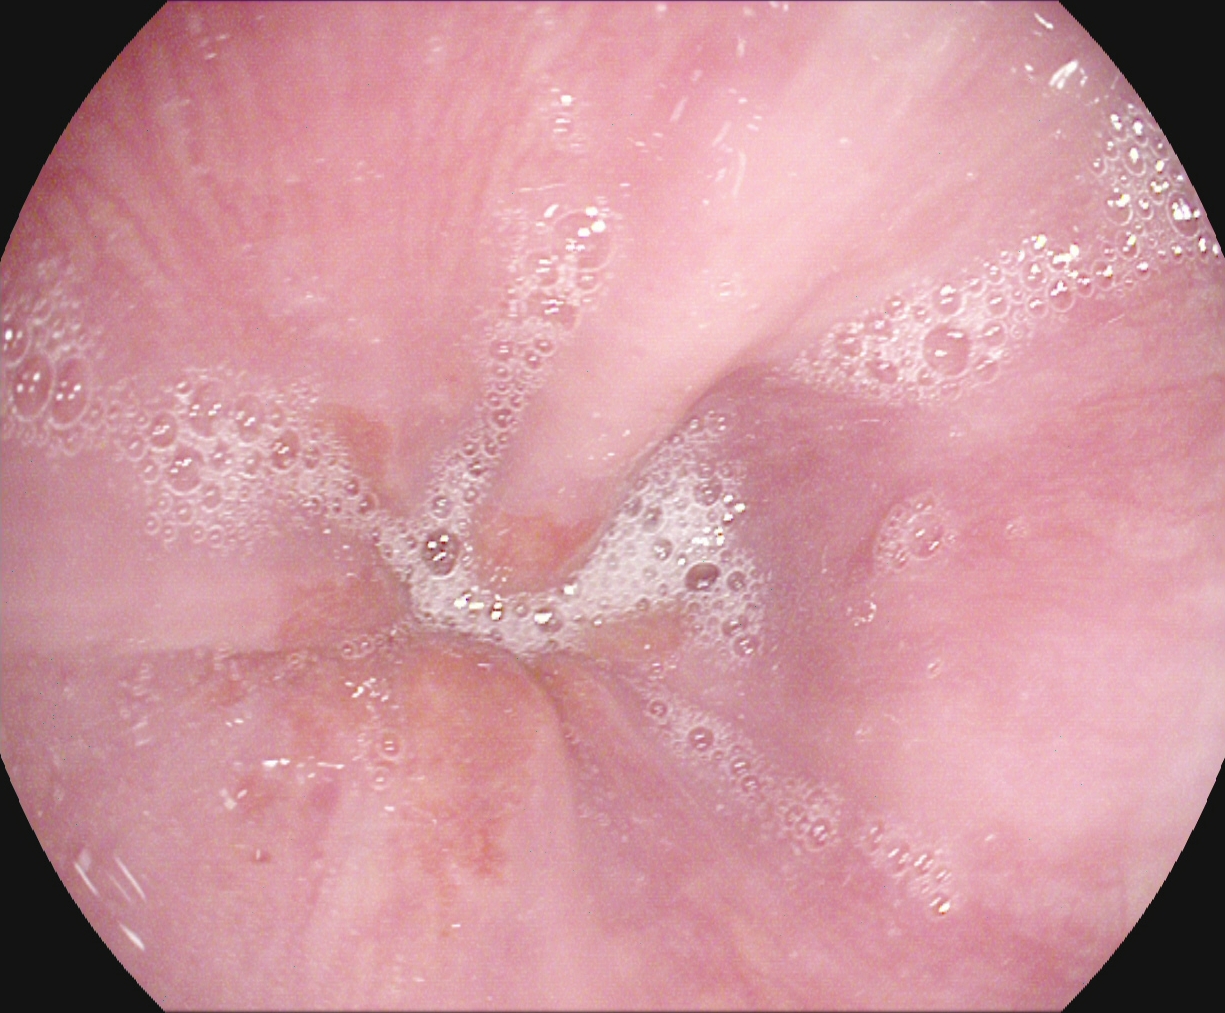This endoscopic image of the upper GI tract shows Z-line (gastroesophageal junction).